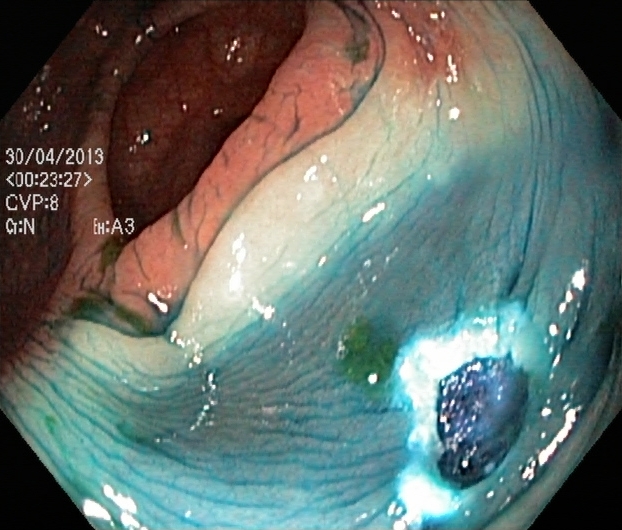dyed resection margins (post-polypectomy).